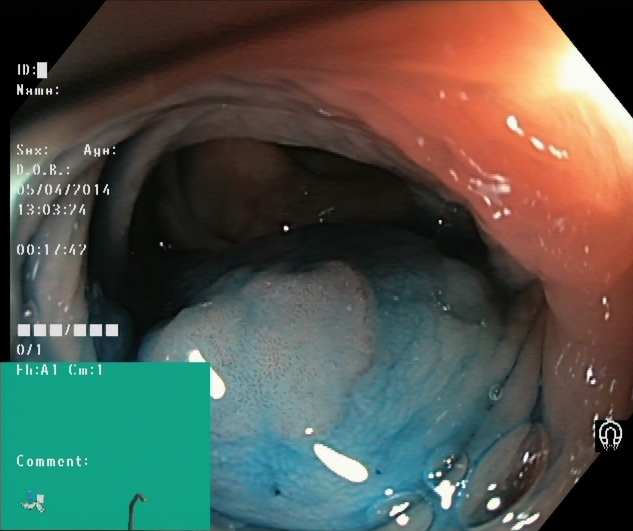Dyed and lifted polyp (pre-resection).